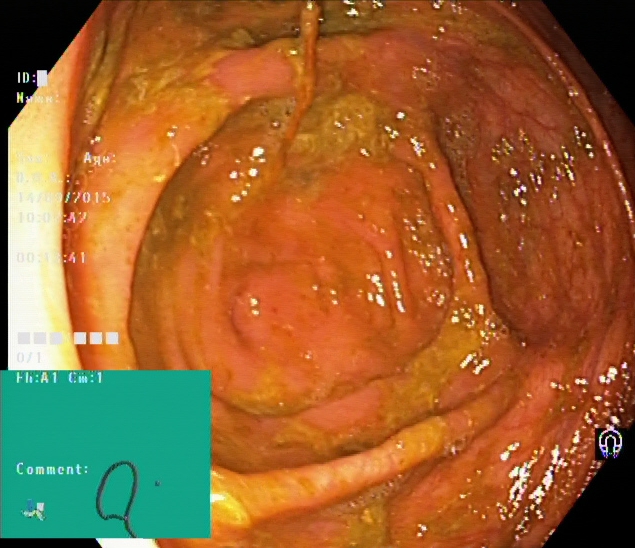This endoscopy frame of the lower GI tract shows cecum.